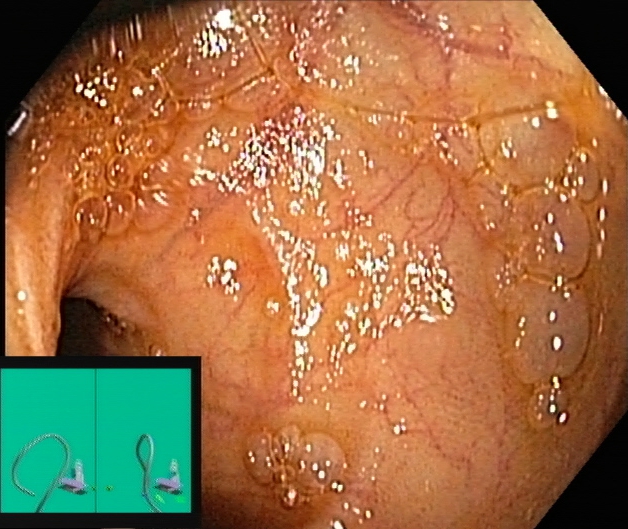modality: lower gastrointestinal endoscopy; finding: cecum